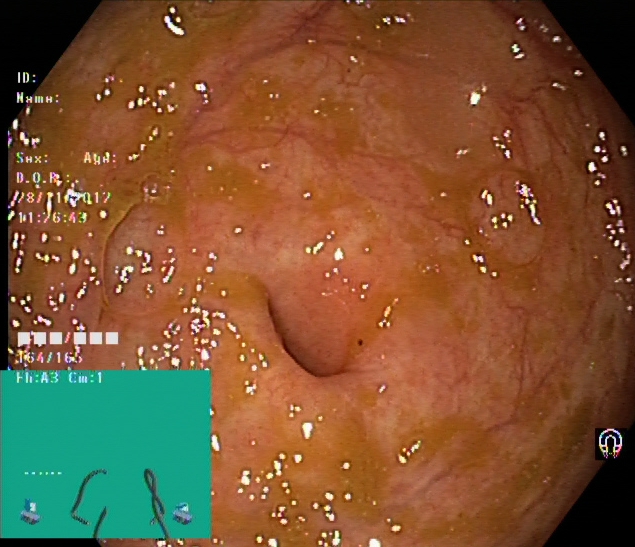Gastrointestinal endoscopy image showing cecum.